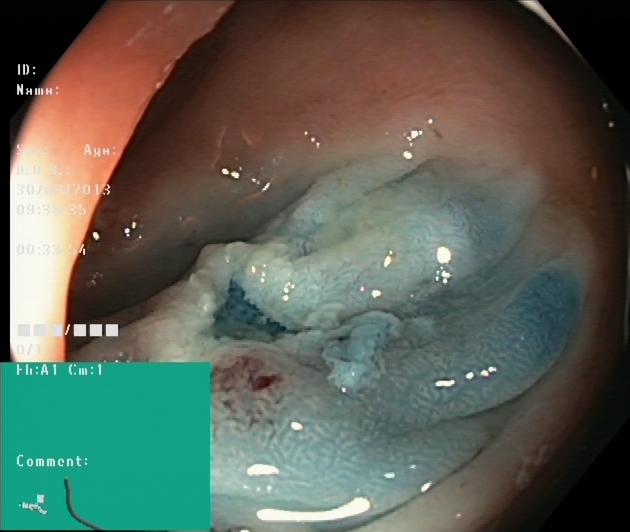GI endoscopy image of the lower GI tract showing dyed resection margins (post-polypectomy).